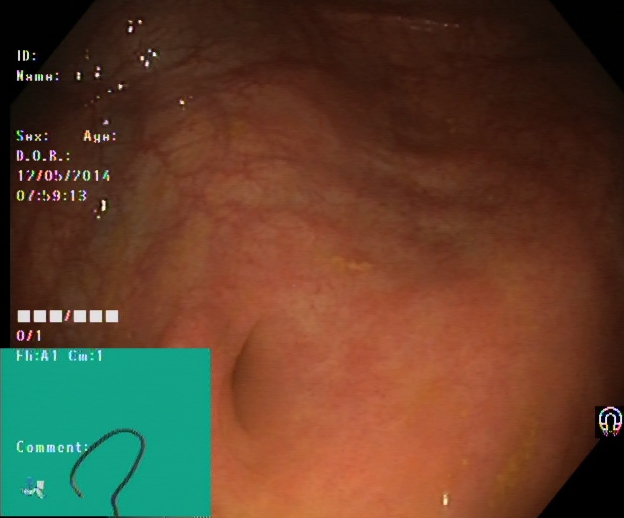Cecum.